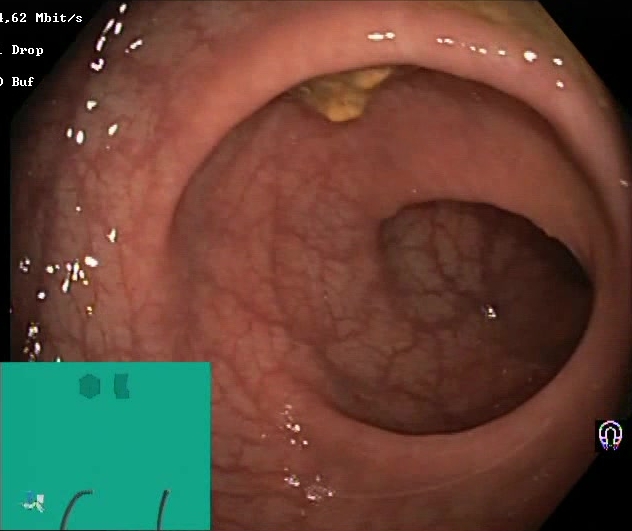Endoscopic frame of the lower GI tract showing Boston Bowel Preparation Scale score 2–3 (adequate preparation).